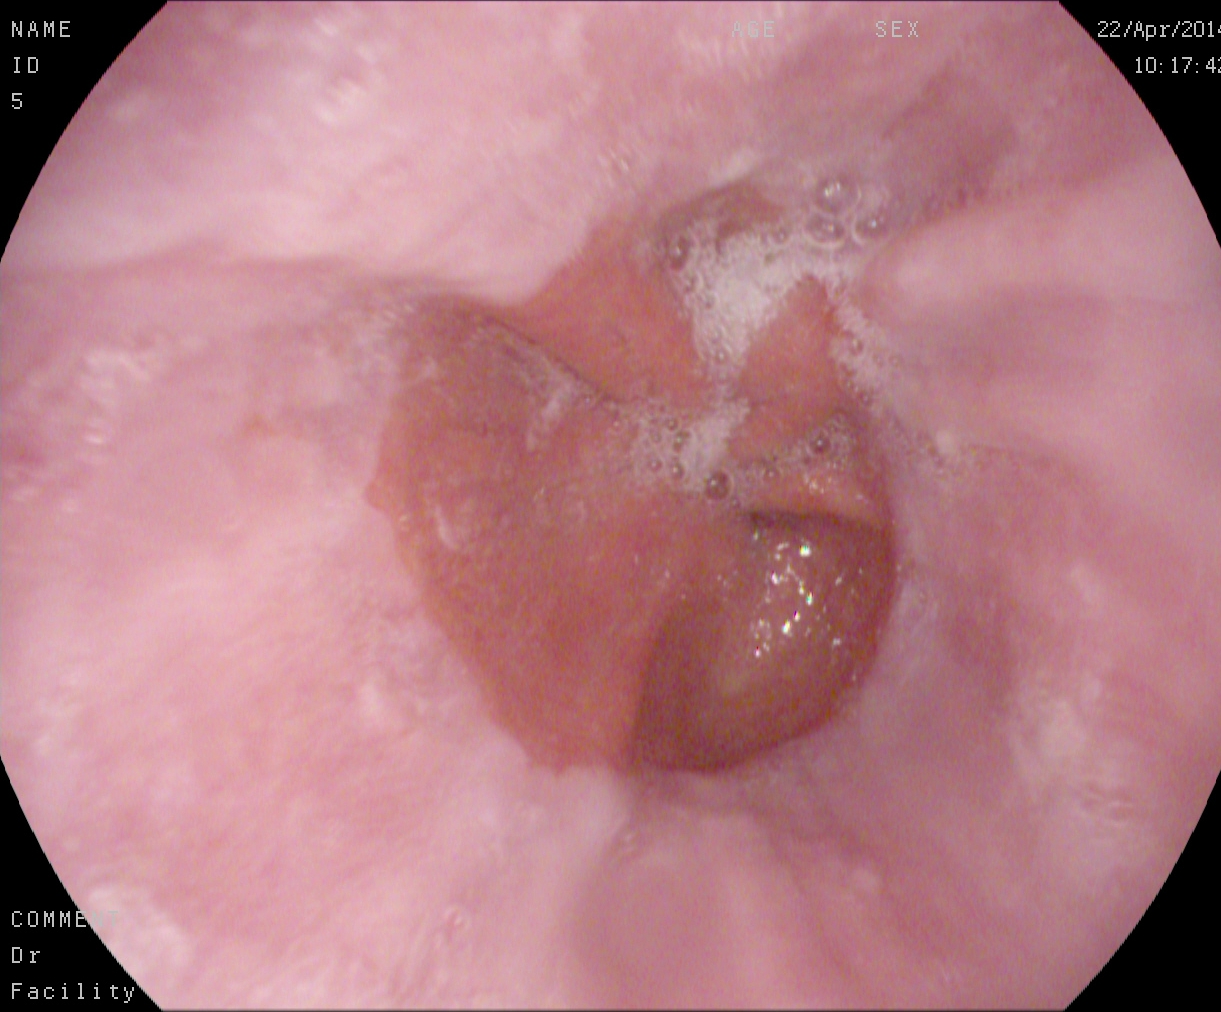PROCEDURE: EGD.
CATEGORY: Anatomical landmark.
FINDINGS: Z-line (gastroesophageal junction).